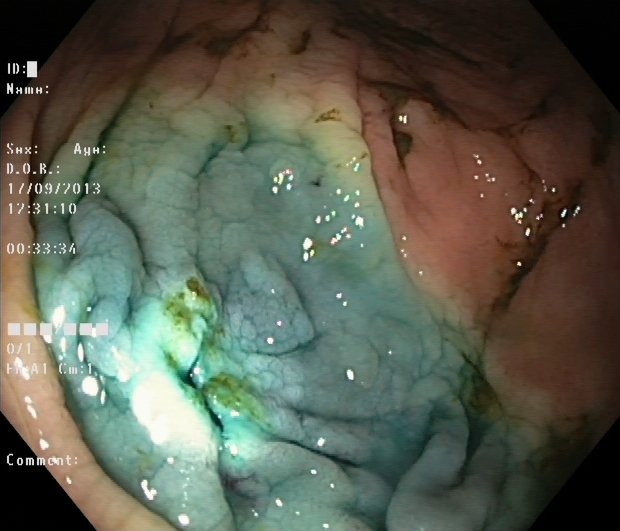Colonoscopy — dyed resection margins (post-polypectomy).